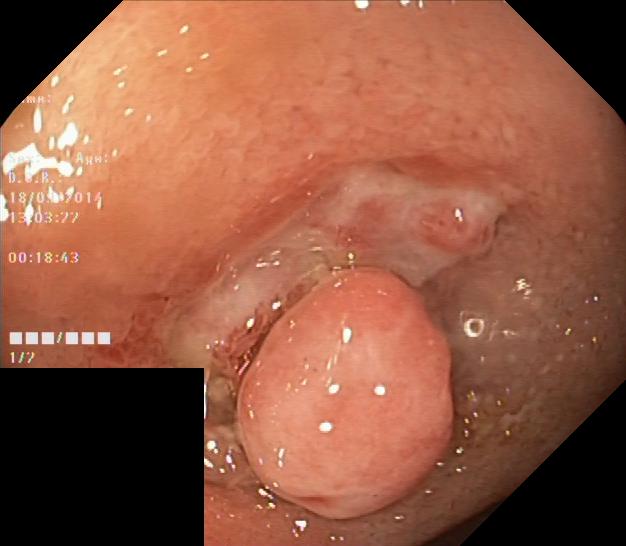Endoscopy image showing colorectal polyp(s).